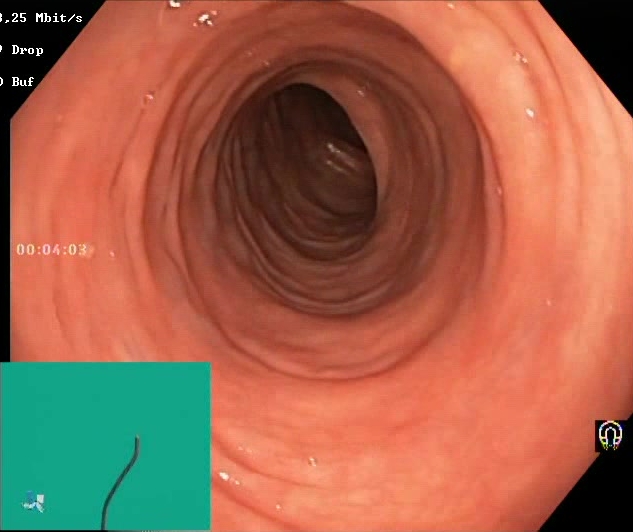{"modality": "lower gastrointestinal endoscopy", "finding": "Boston Bowel Preparation Scale score 2\u20133 (adequate preparation)"}